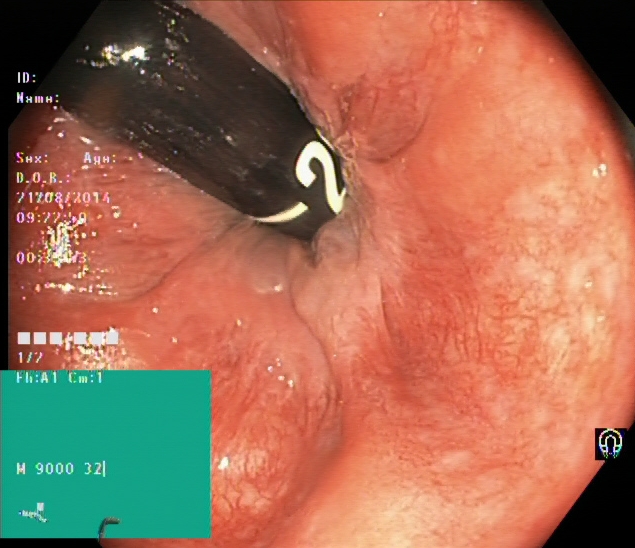Colonoscopy image showing rectum in retroflexion.